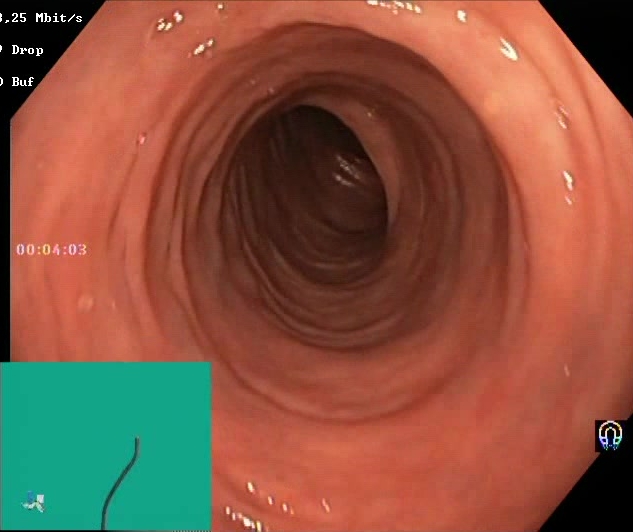modality: lower-GI endoscopy | tract: lower GI tract | finding: BBPS score 2–3 (adequate preparation)